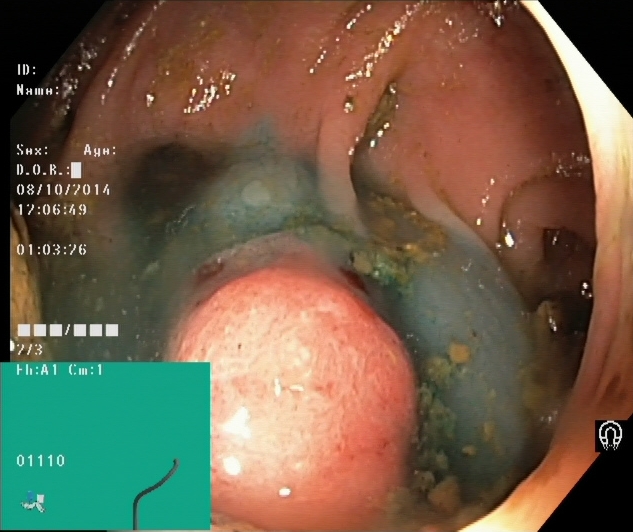Lower gastrointestinal endoscopy — dyed and lifted polyp (pre-resection).